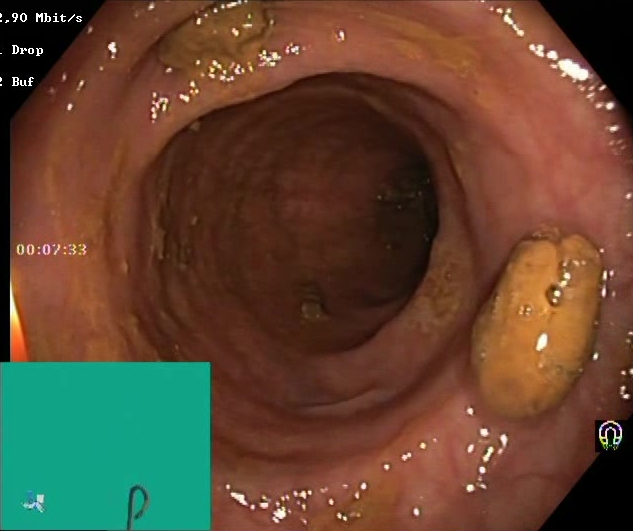{"modality": "lower-GI endoscopy", "finding": "impacted stool"}